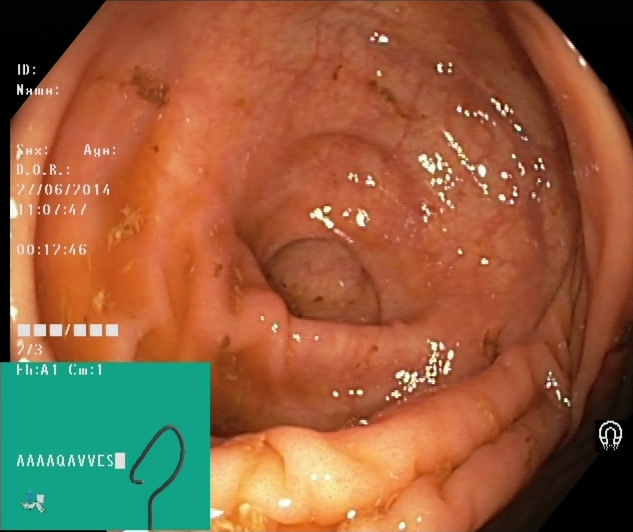Lower-GI endoscopy. Finding: cecum.